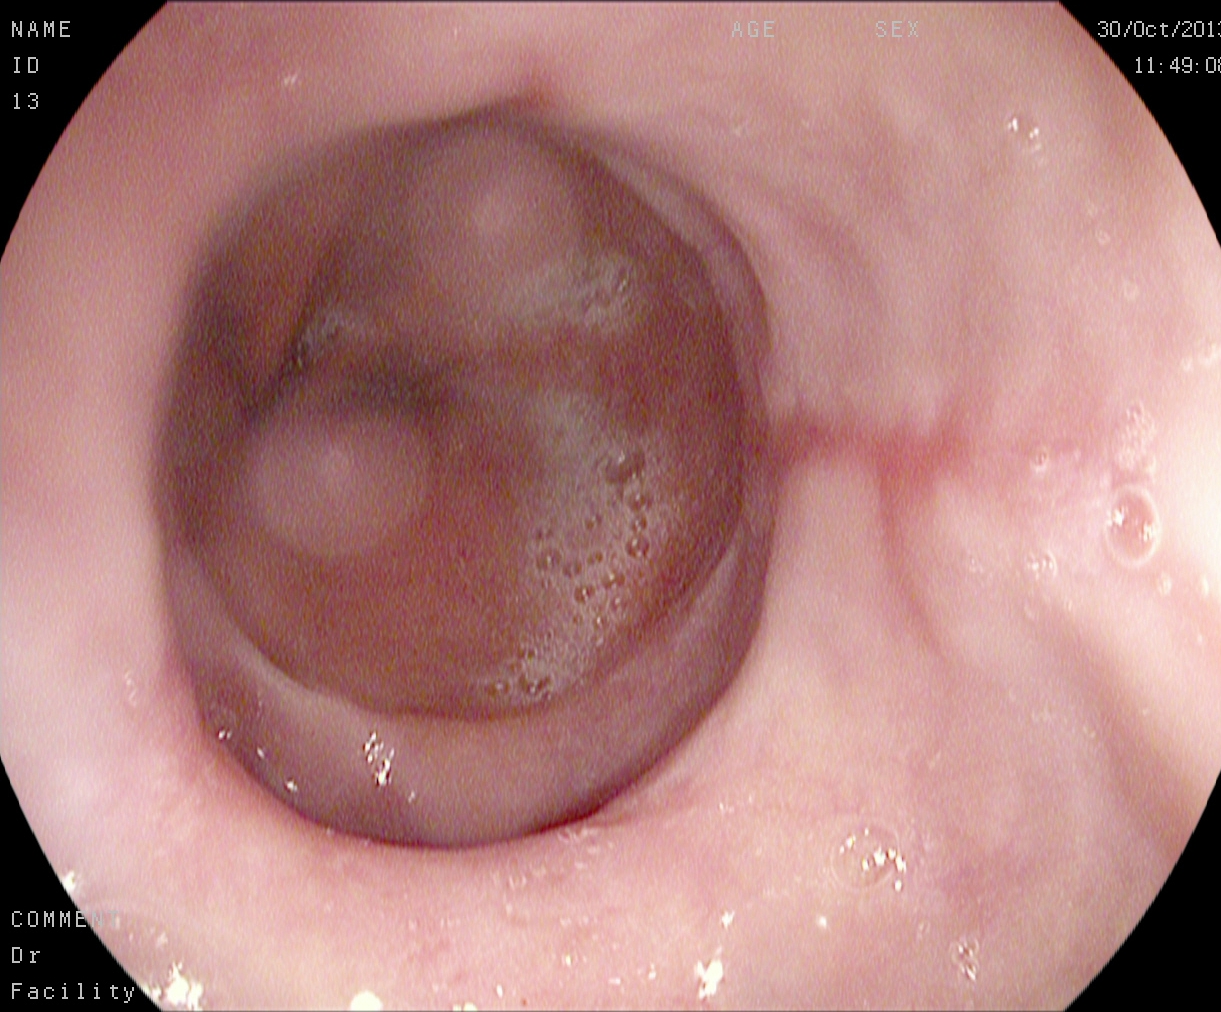Endoscopic image of the upper GI tract showing reflux esophagitis, LA grade A.